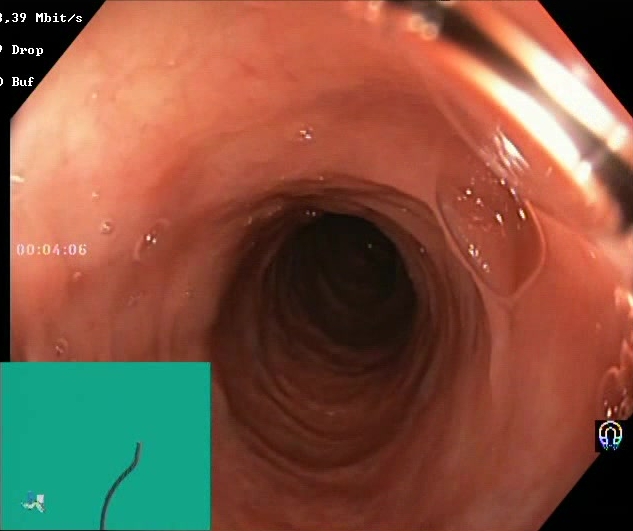BBPS score 2–3 (adequate preparation).